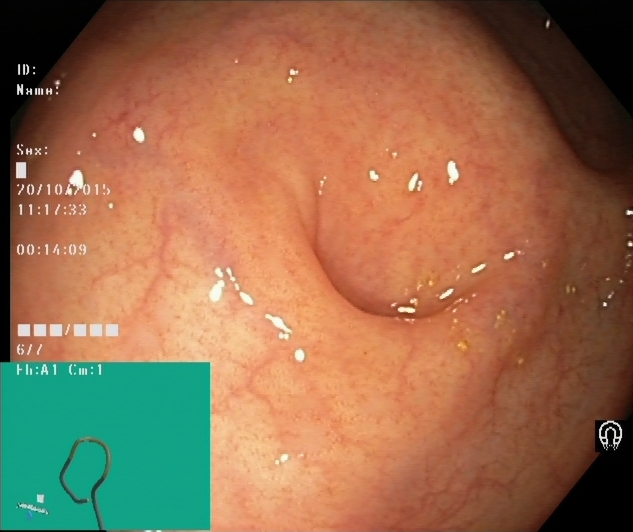This endoscopy frame of the lower GI tract shows cecum.